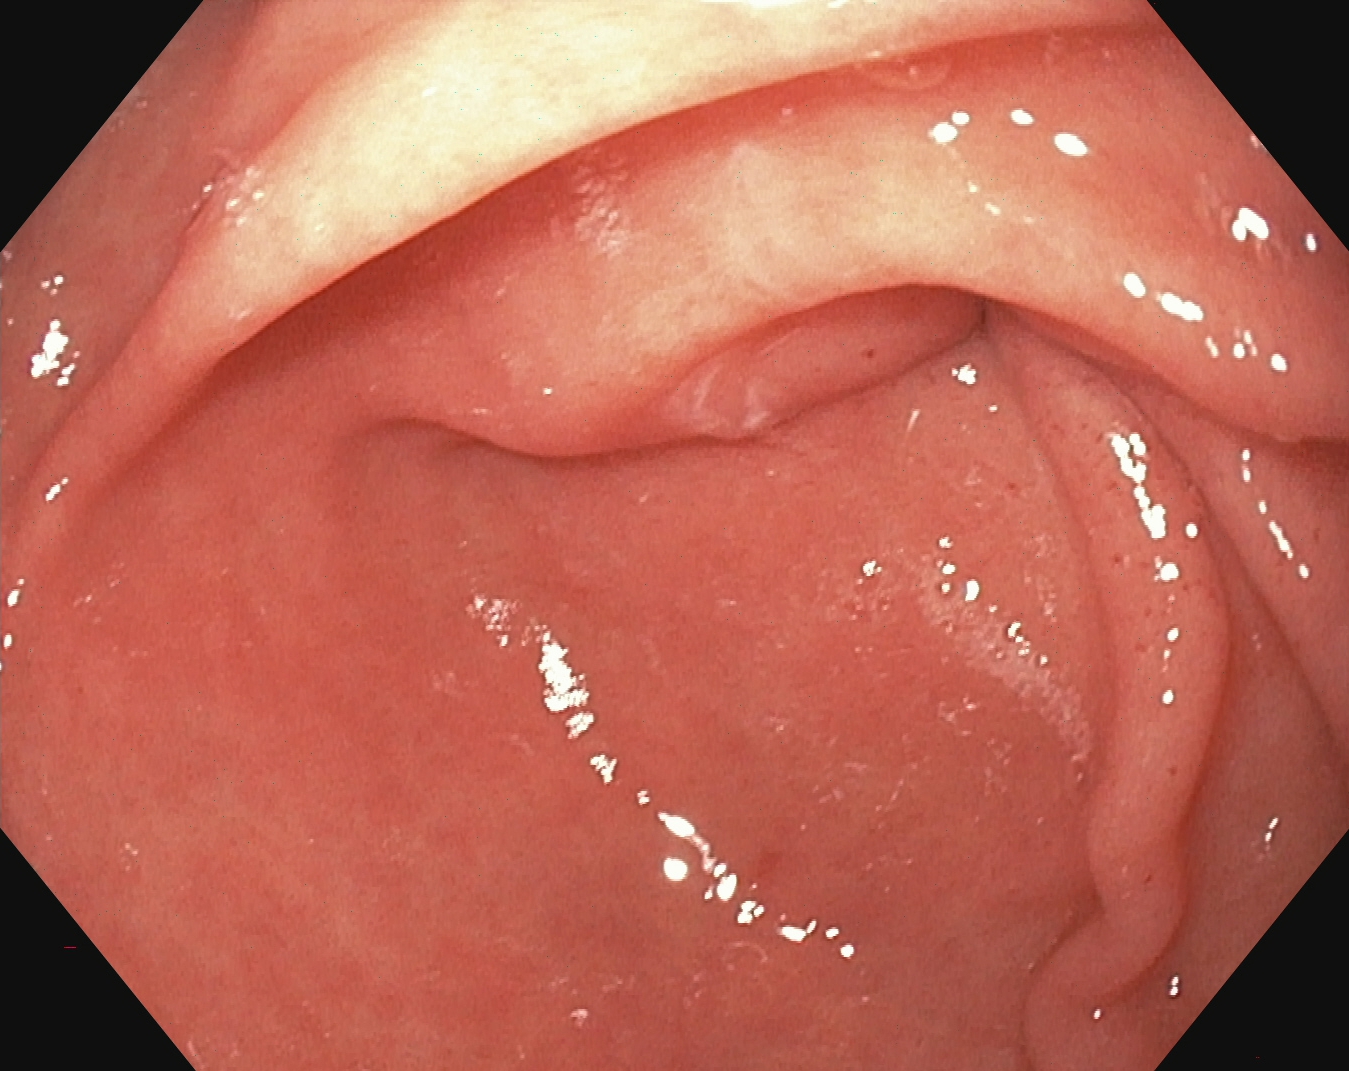This endoscopy frame shows pylorus.